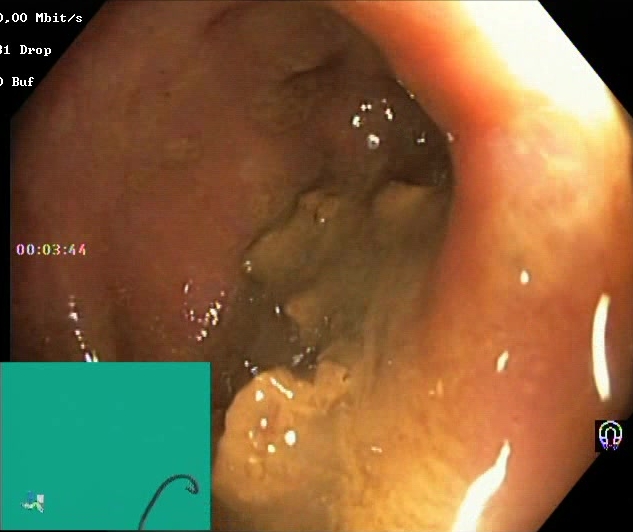Boston Bowel Preparation Scale score 0–1 (inadequate preparation).